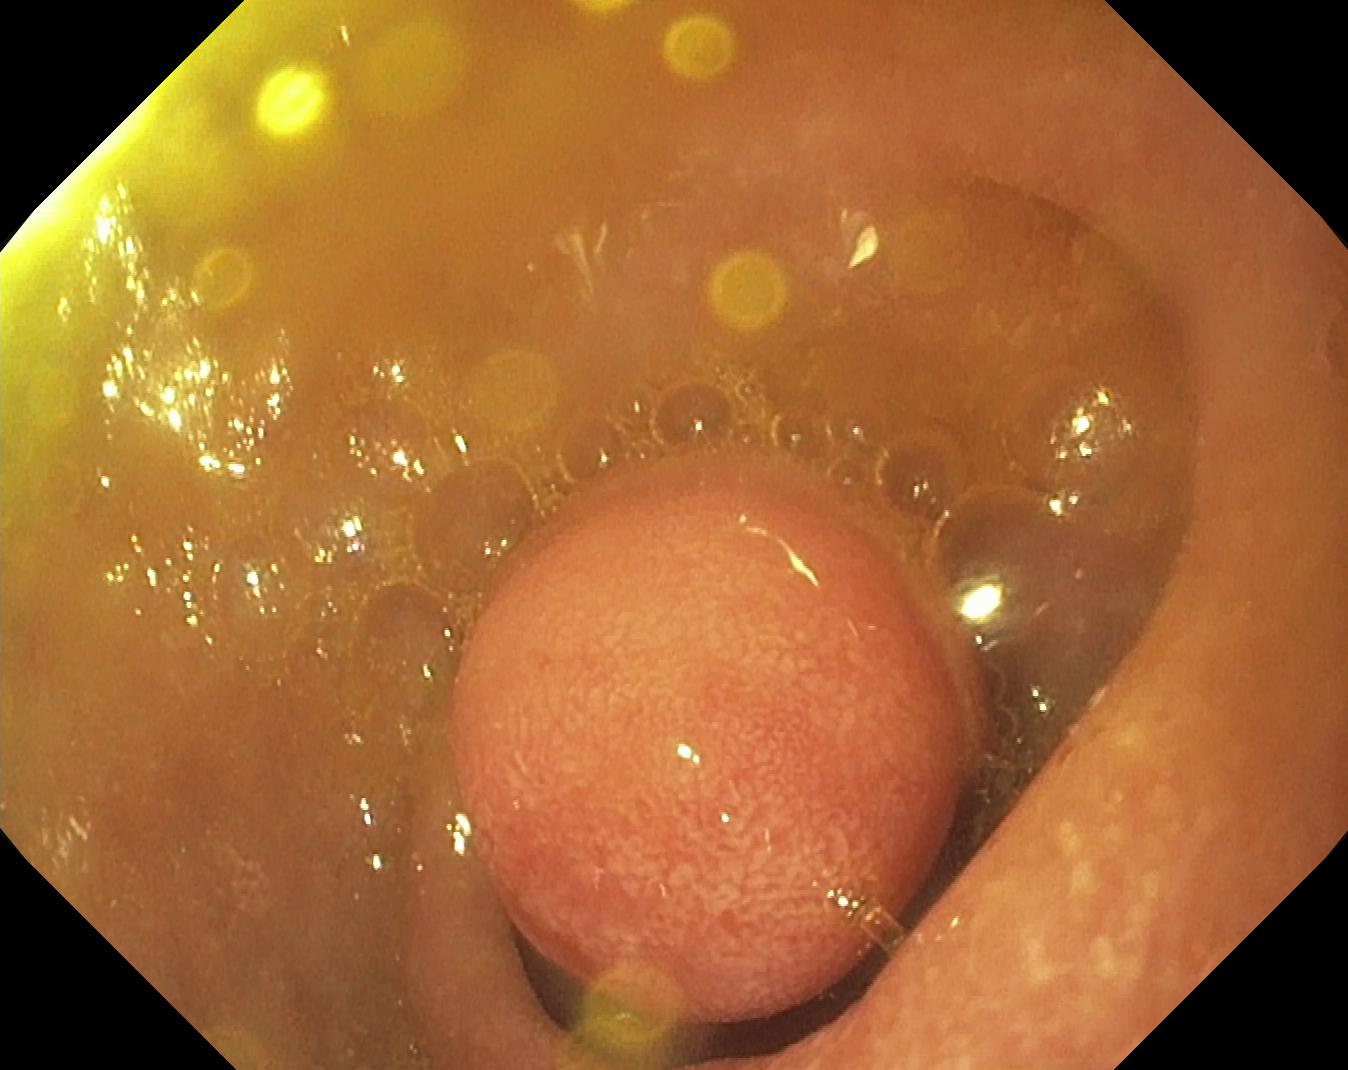Colorectal polyp(s).